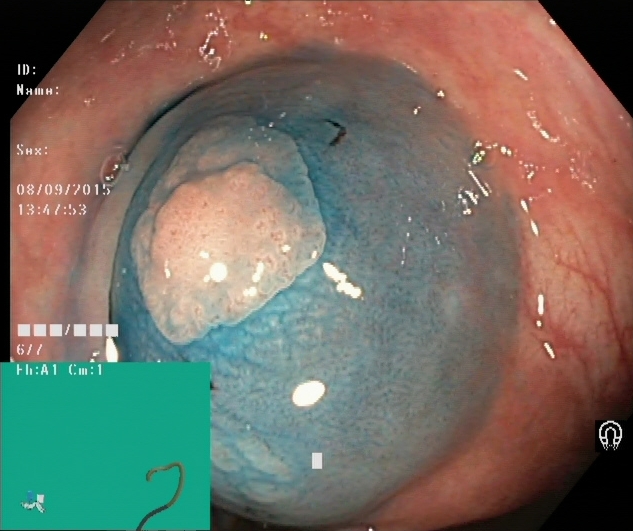modality: colonoscopy; category: therapeutic intervention; finding: dyed and lifted polyp (pre-resection)